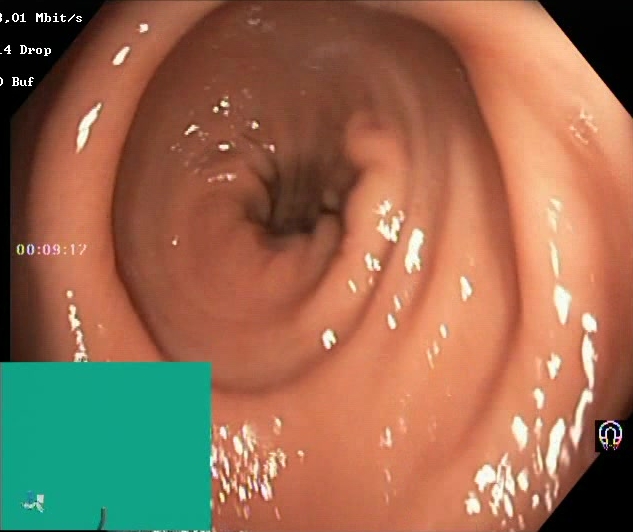modality: colonoscopy; category: mucosal-view quality; finding: BBPS score 2–3 (adequate preparation)